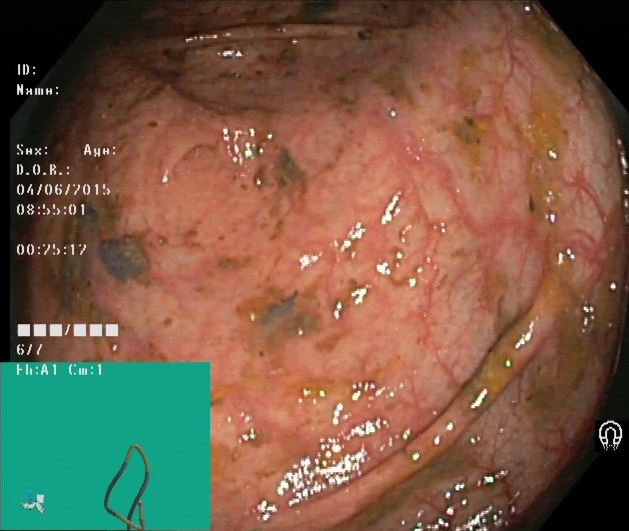Cecum.